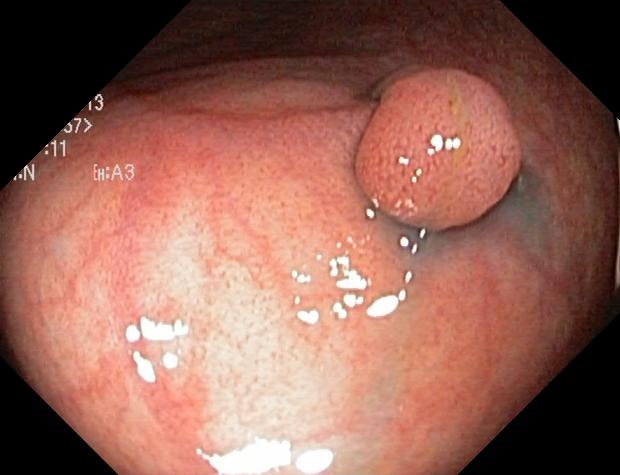{"modality": "lower-GI endoscopy", "tract": "lower GI tract", "category": "pathological finding", "finding": "colorectal polyp(s)"}